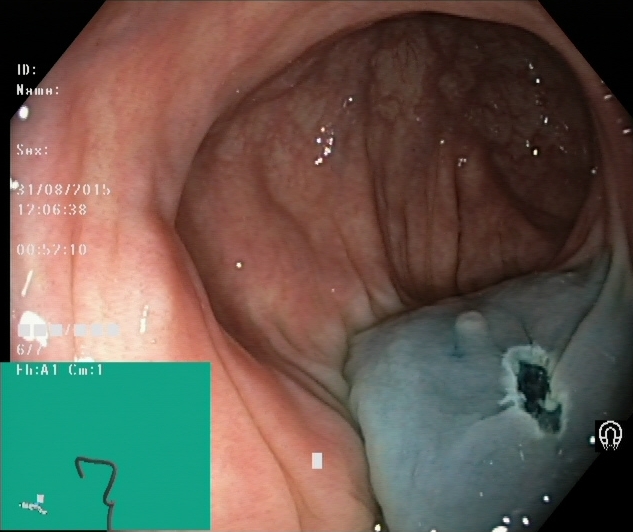Dyed resection margins (post-polypectomy).